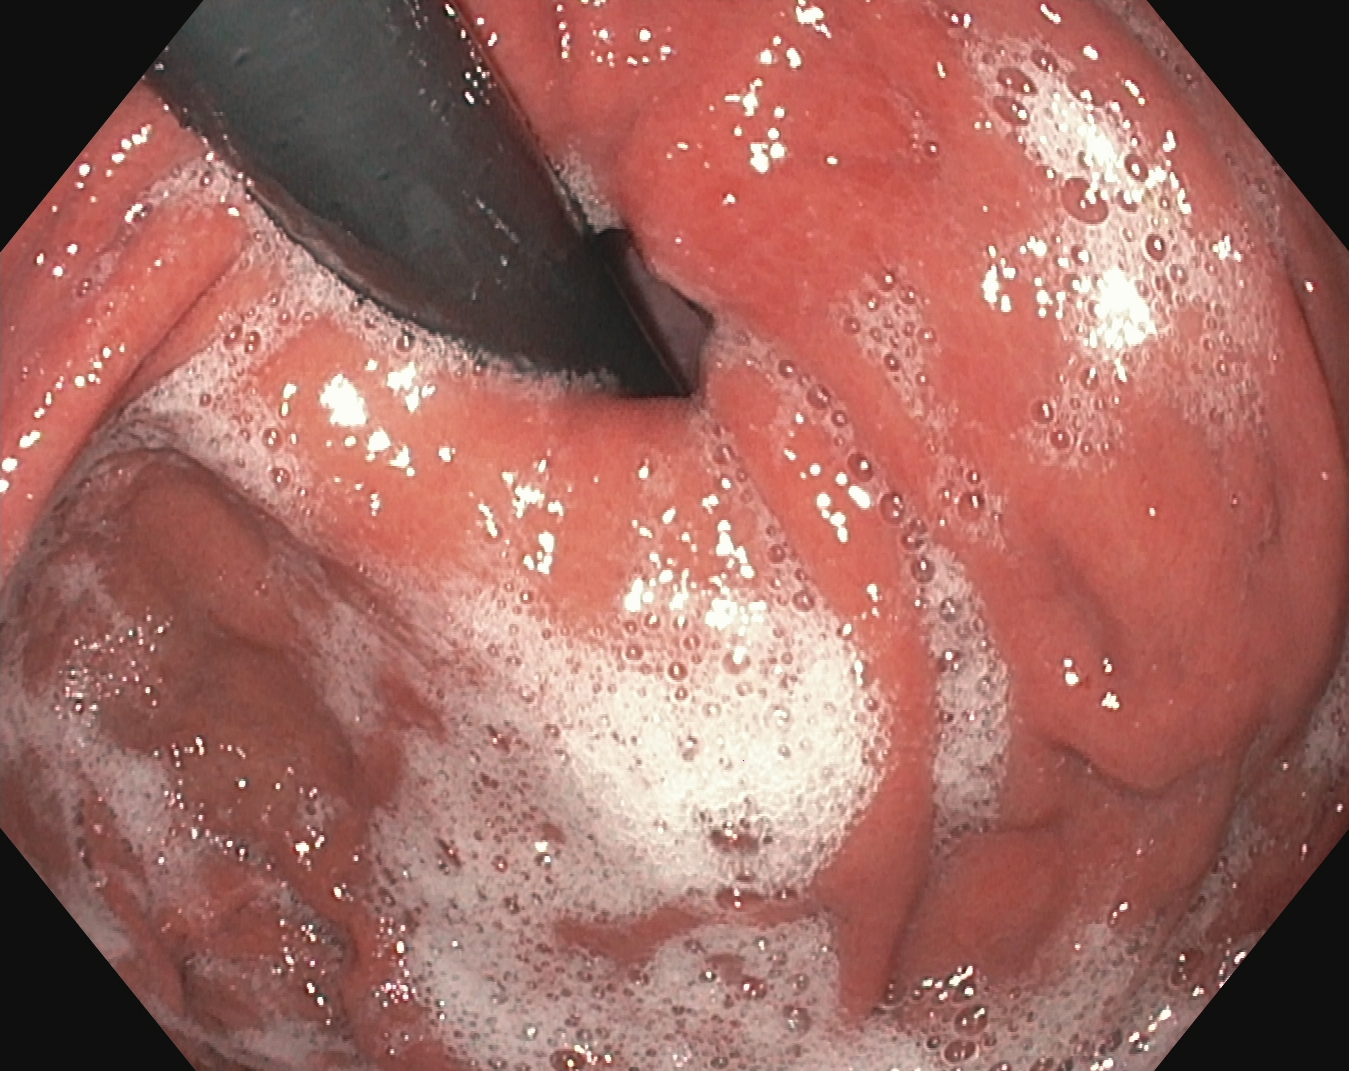Stomach in retroflexion.